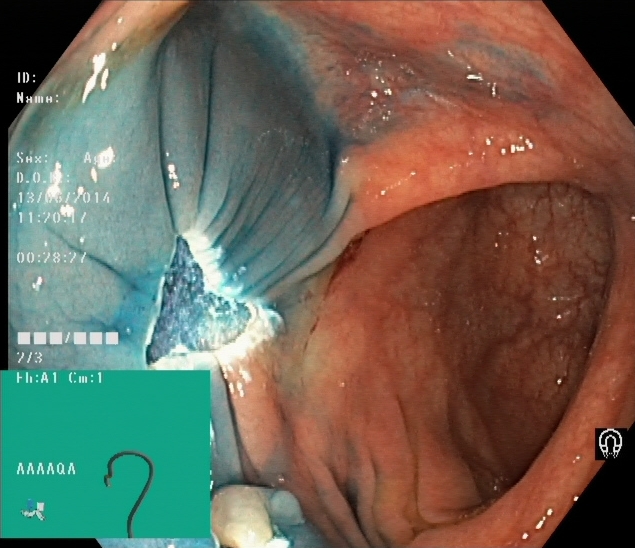Endoscopy image showing dyed resection margins (post-polypectomy).